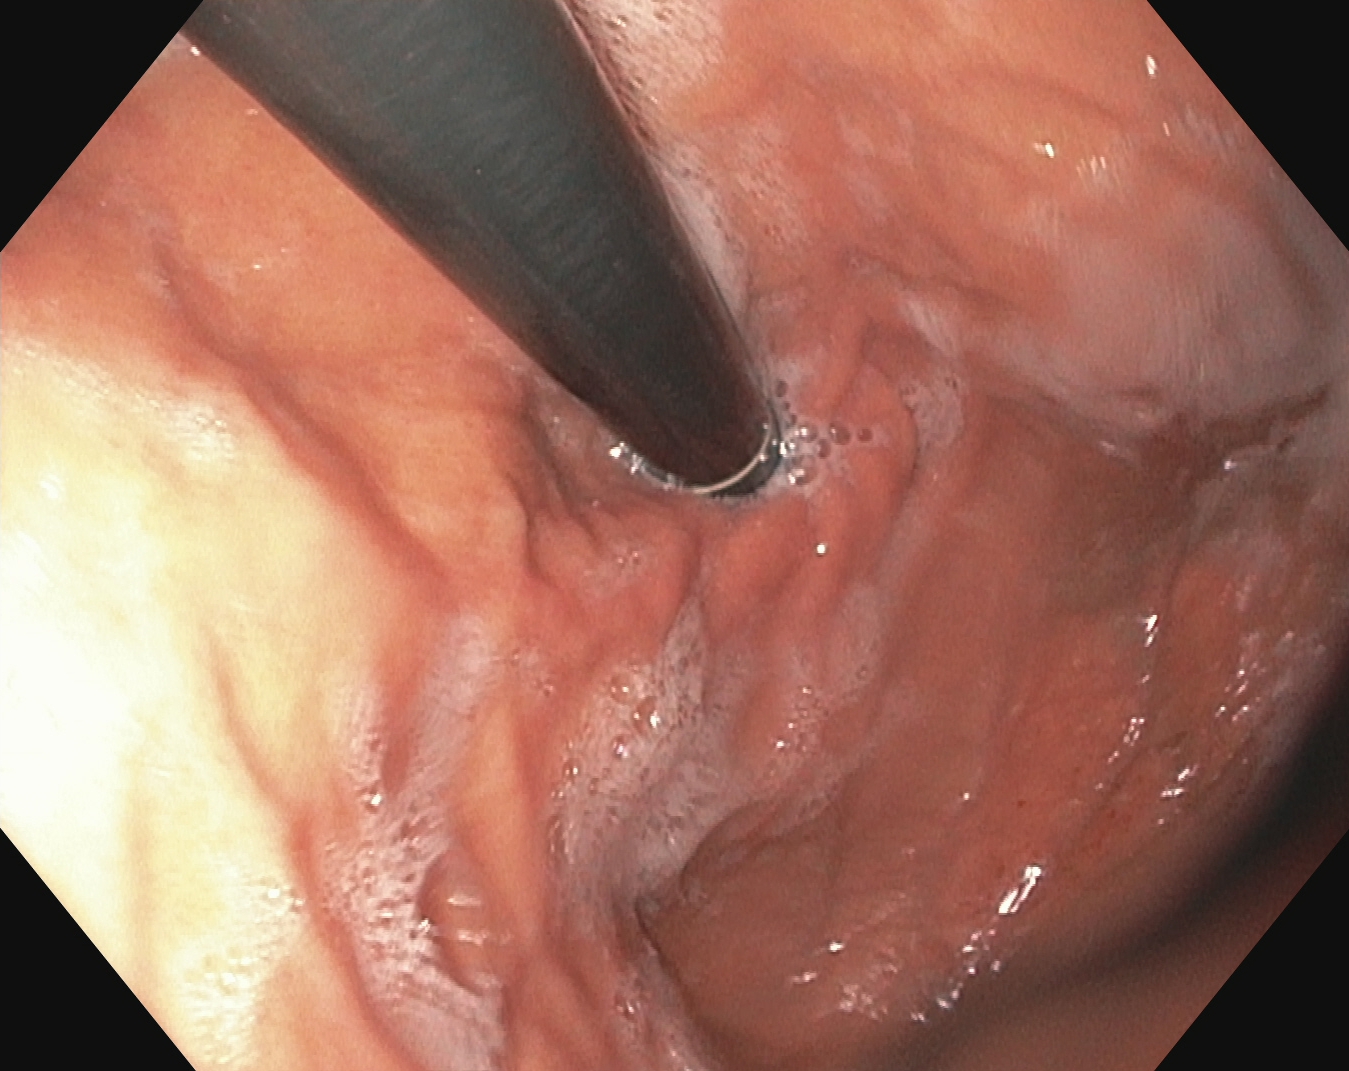modality: EGD | finding: stomach in retroflexion